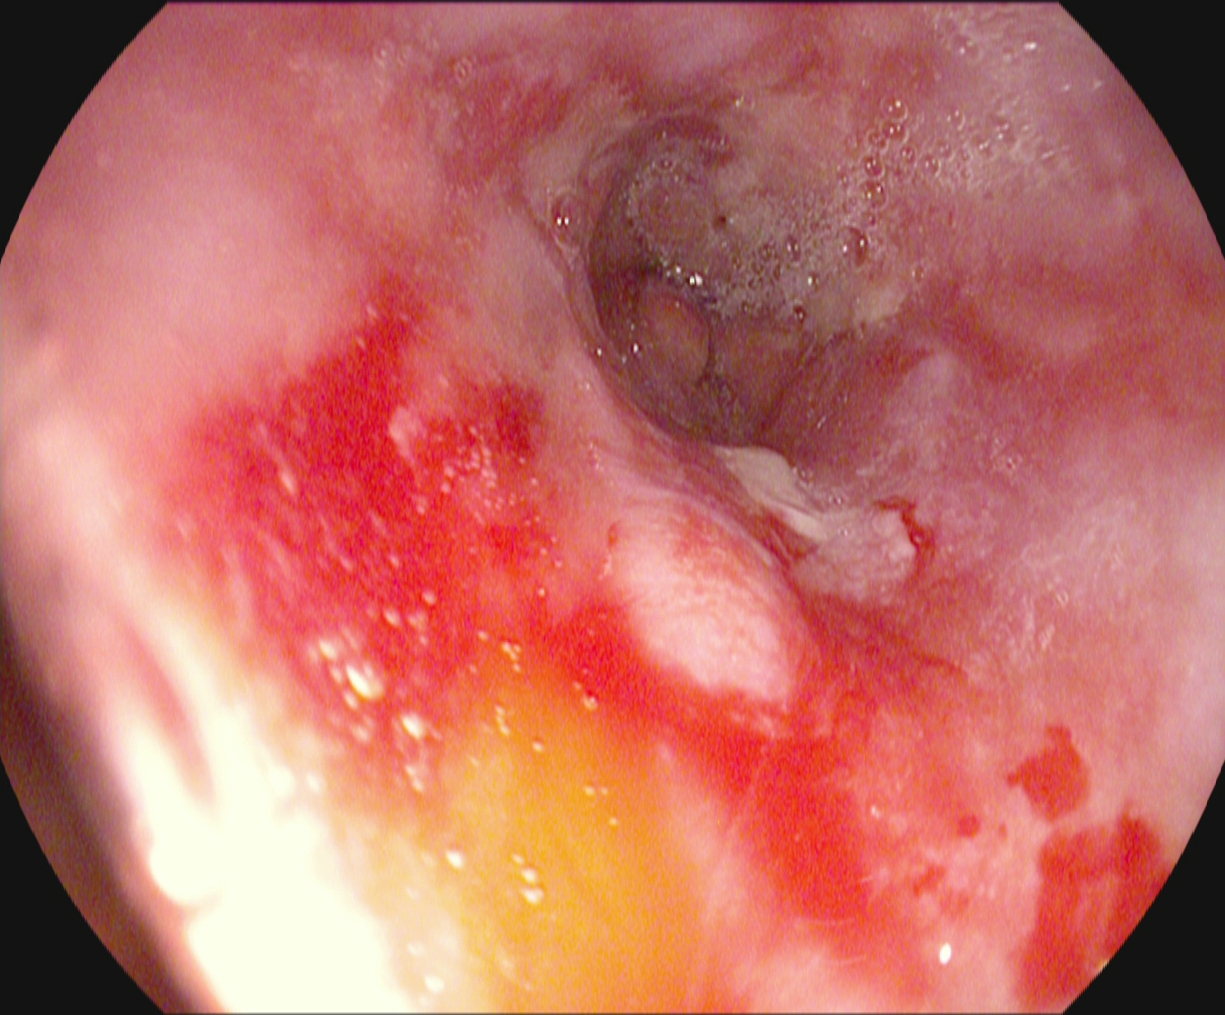Upper-GI endoscopy — reflux esophagitis, Los Angeles grade B–D.